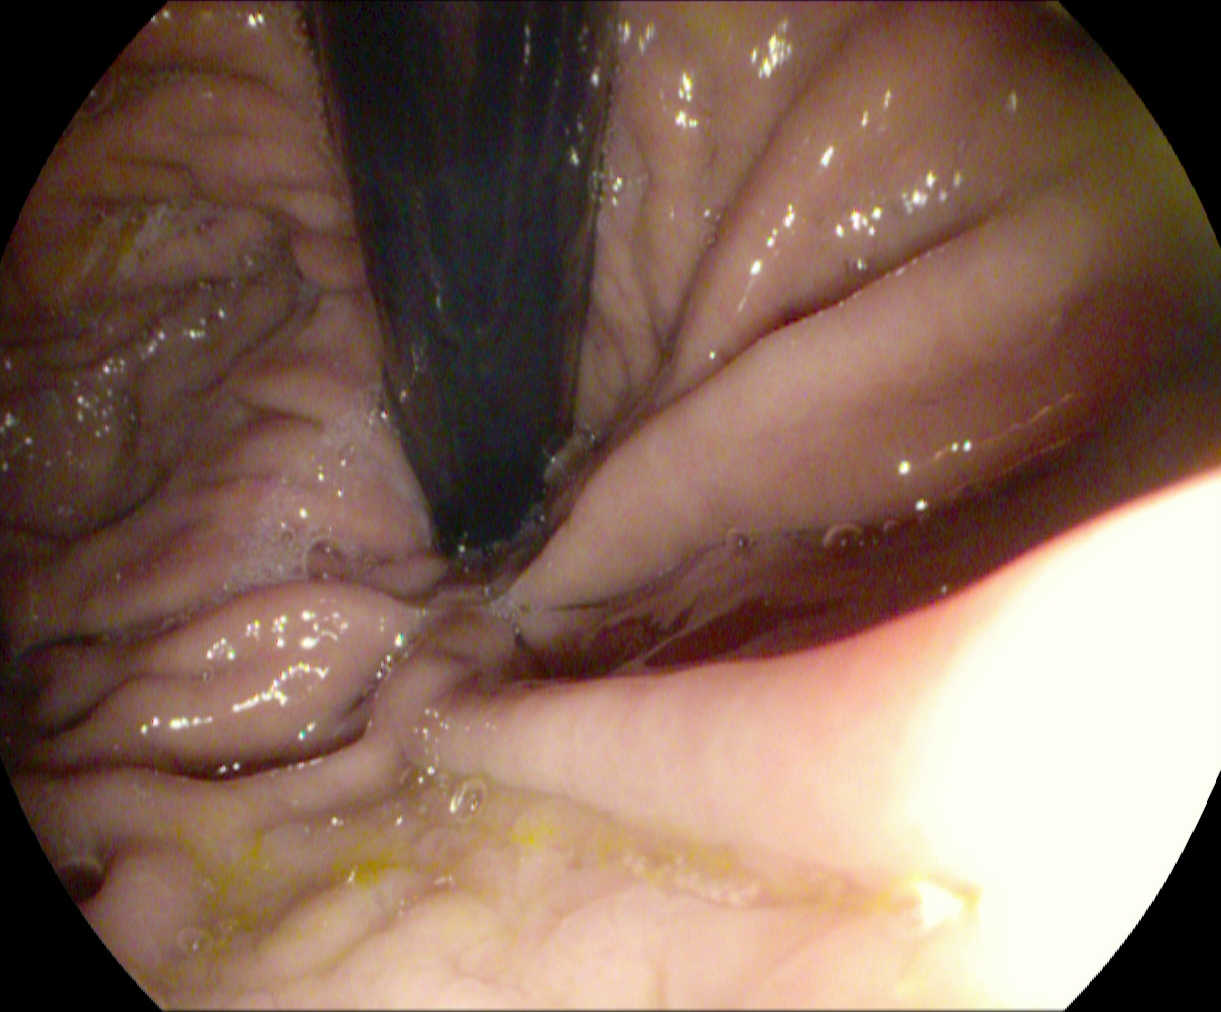Stomach in retroflexion.